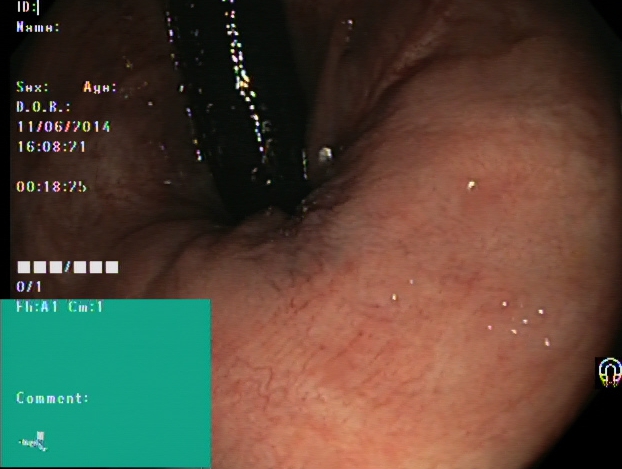Rectum in retroflexion.